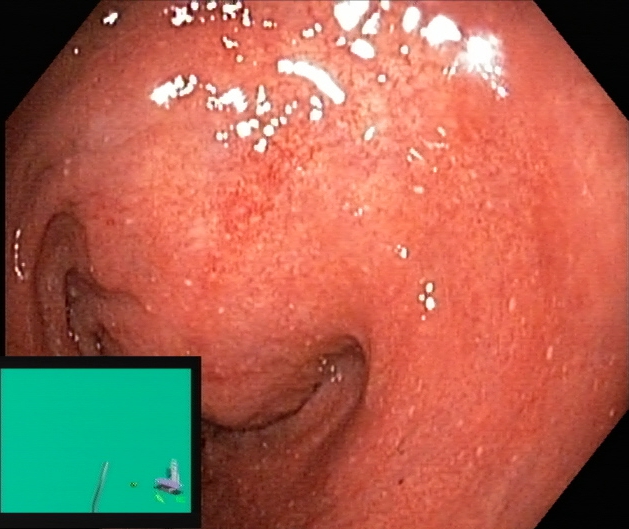PROCEDURE: Colonoscopy.
CATEGORY: Pathological finding.
FINDINGS: Ulcerative colitis, Mayo endoscopic subscore 2.